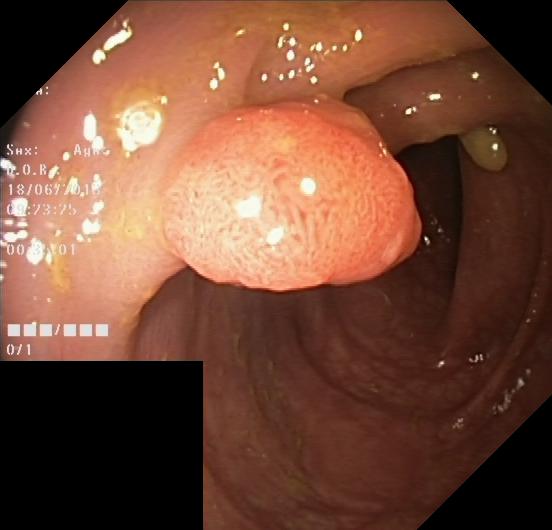GI endoscopy image of the lower GI tract showing colorectal polyp(s).